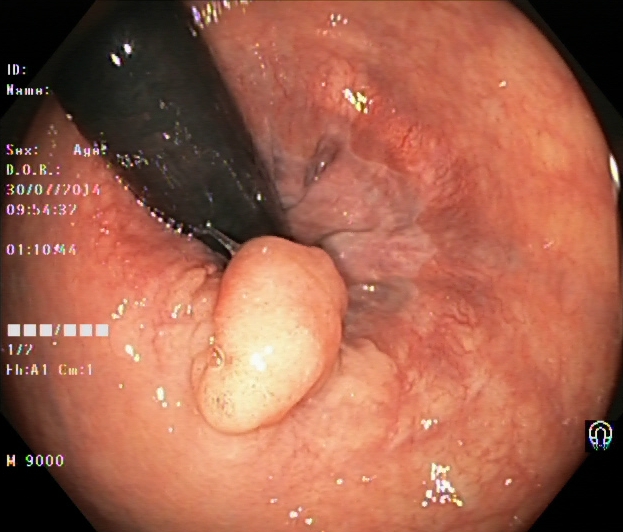Lower-GI endoscopy — colorectal polyp(s).